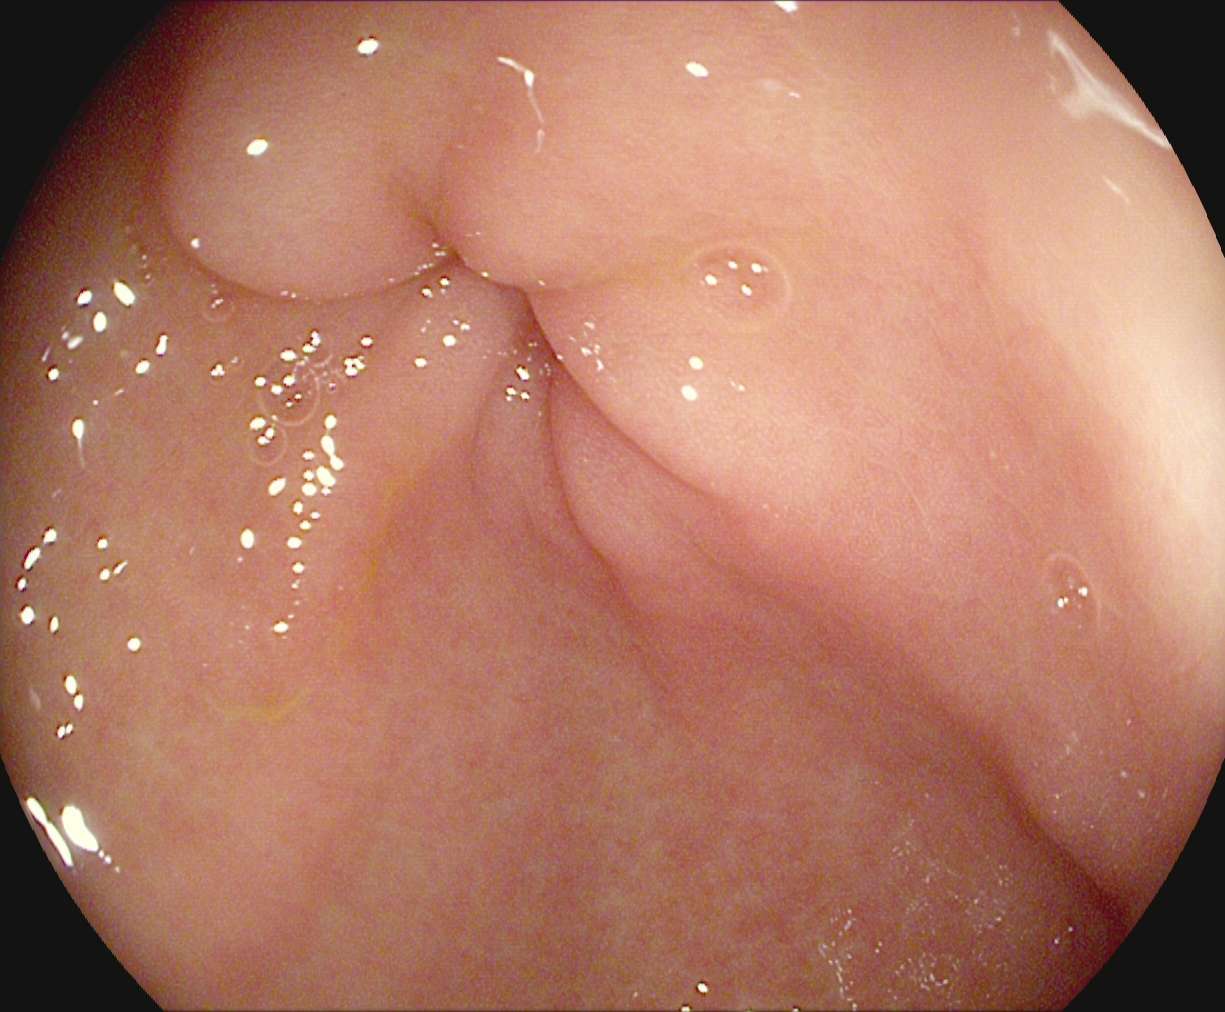modality: upper-GI endoscopy; tract: upper GI tract; finding: pylorus